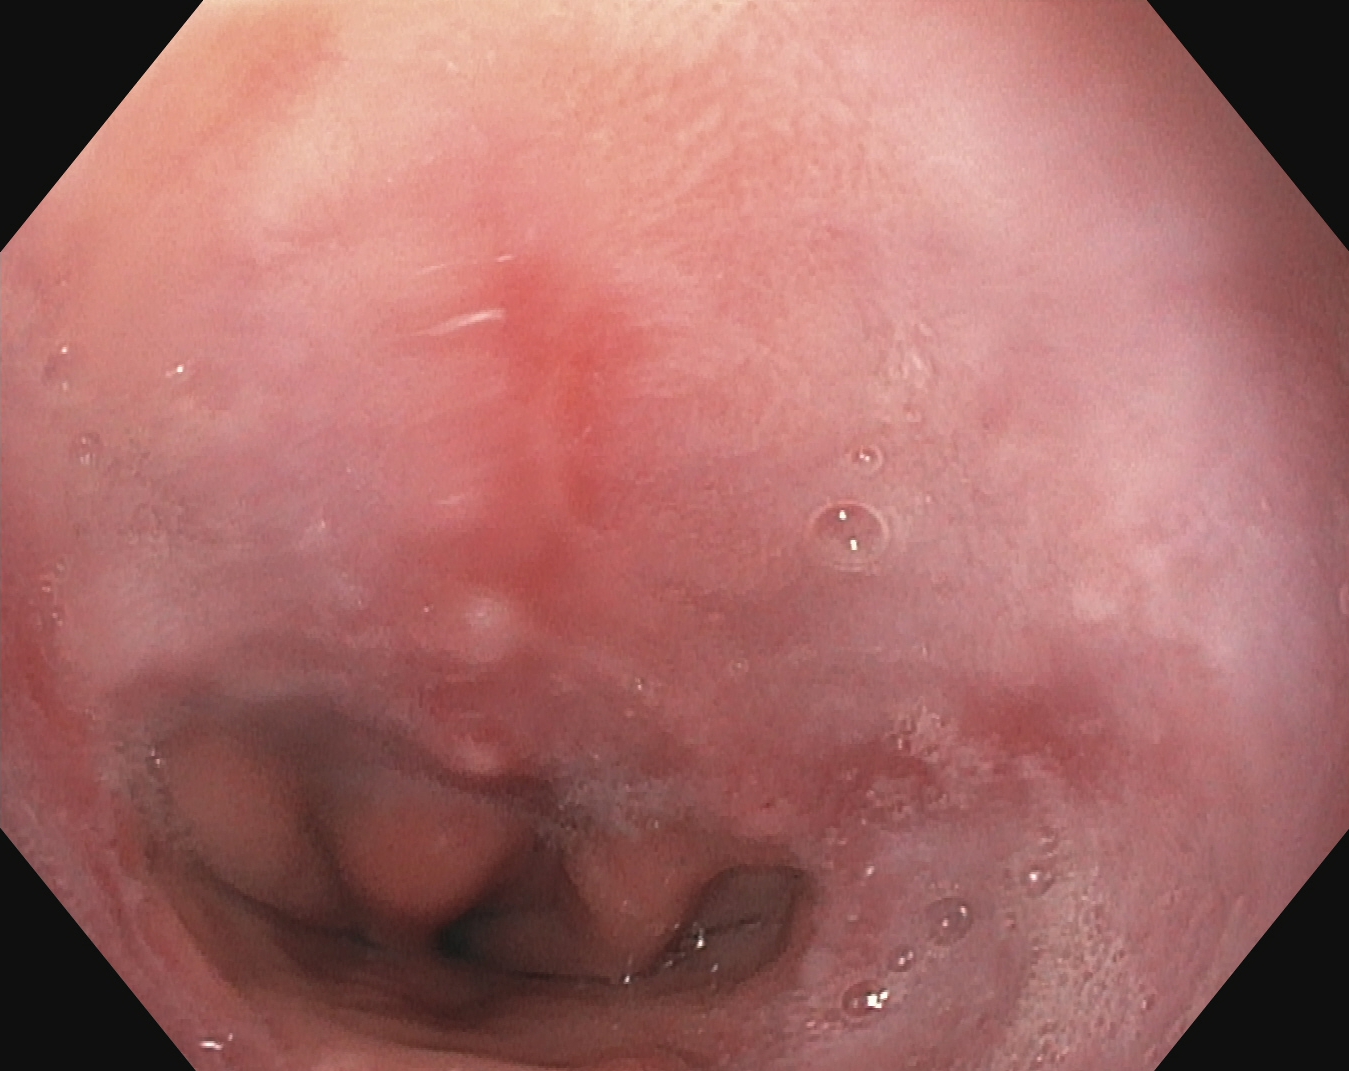Reflux esophagitis, LA grade A.